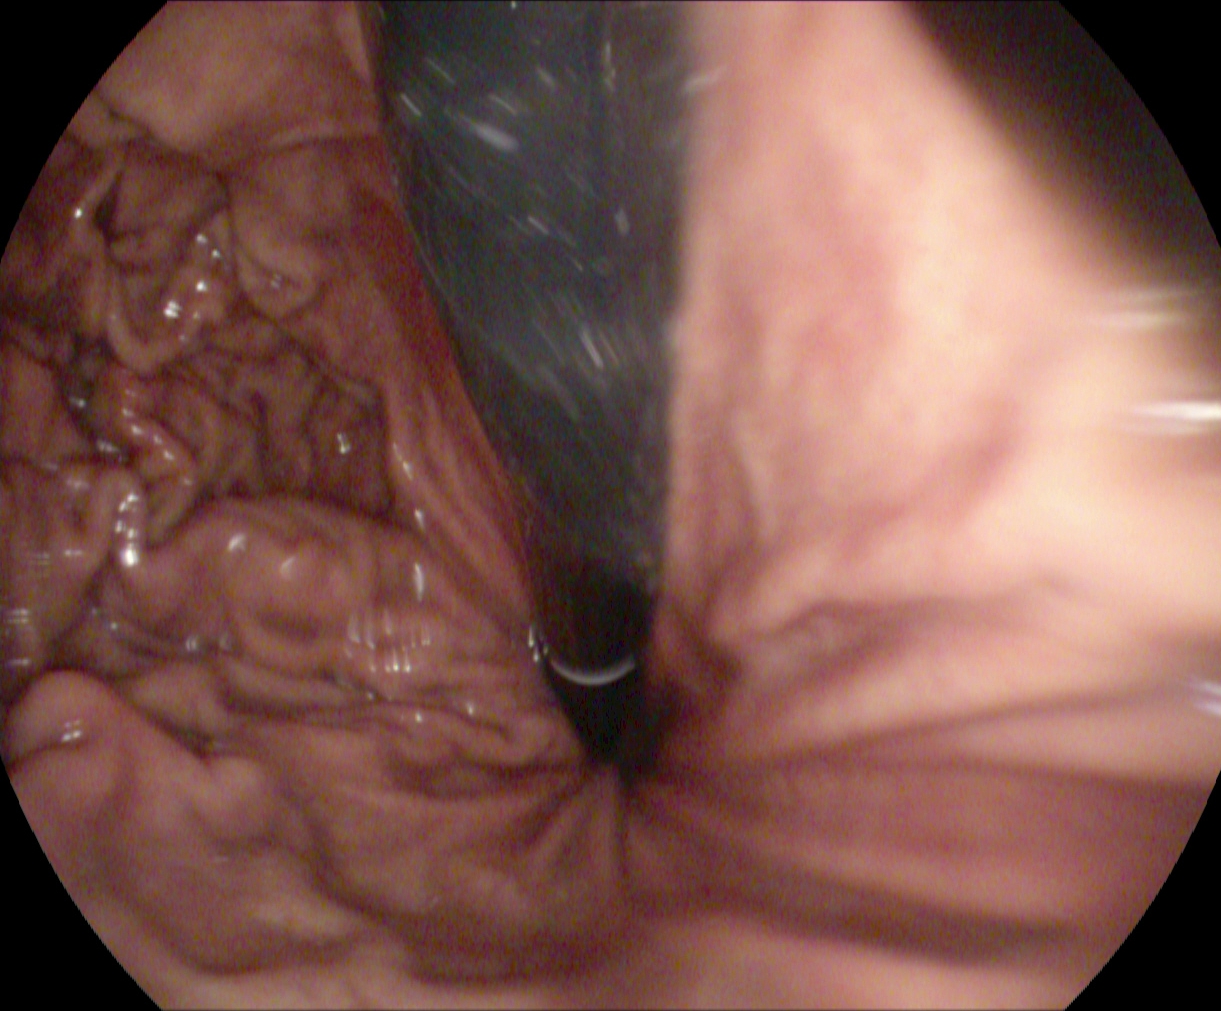Stomach in retroflexion.